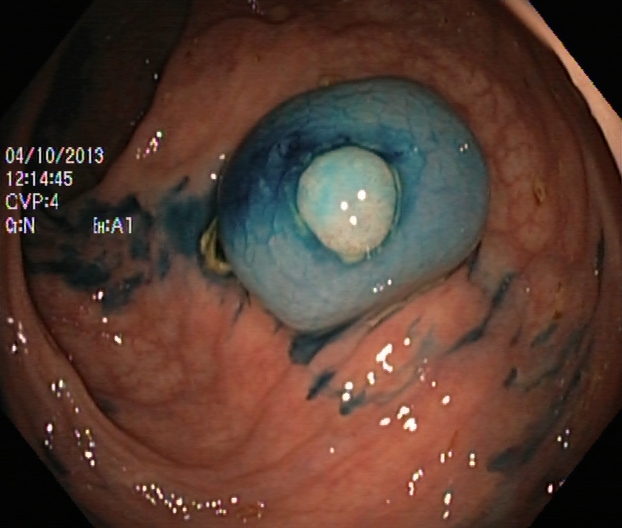Lower-GI endoscopy. Tract: lower GI tract. Finding: dyed and lifted polyp (pre-resection).